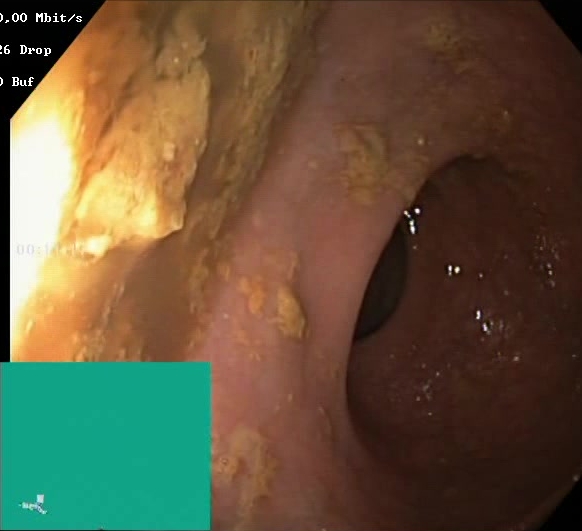modality: colonoscopy; finding: BBPS score 0–1 (inadequate preparation)